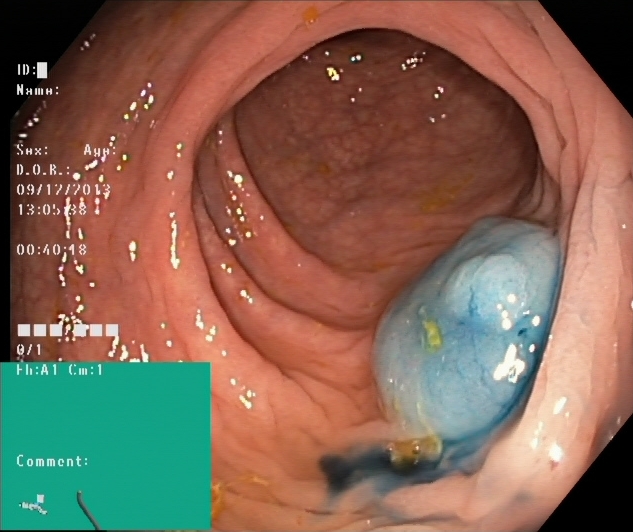Lower-GI endoscopy. Tract: lower GI tract. Therapeutic intervention. Finding: dyed and lifted polyp (pre-resection).